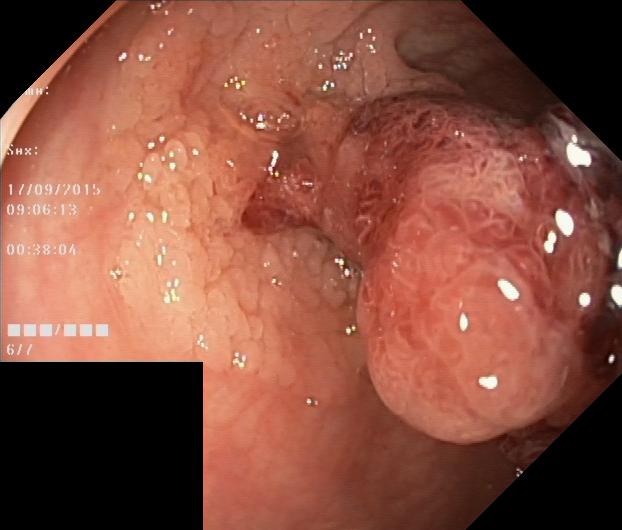Lower gastrointestinal endoscopy. Tract: lower GI tract. Finding: colorectal polyp(s).